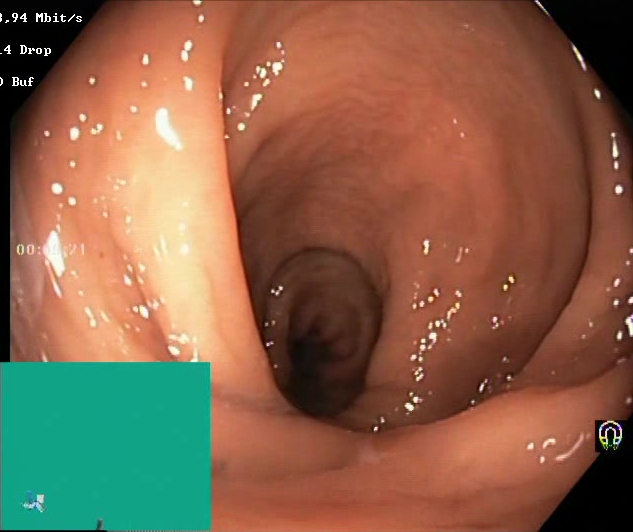Colonoscopy. Finding: BBPS score 2–3 (adequate preparation).